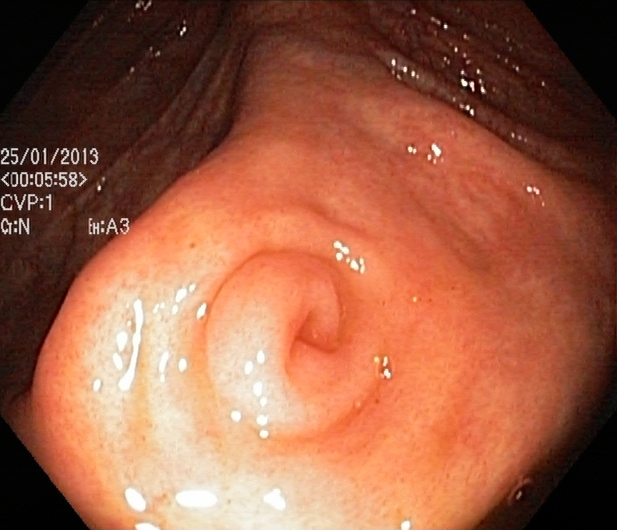Lower-GI endoscopy. Tract: lower GI tract. Finding: cecum.